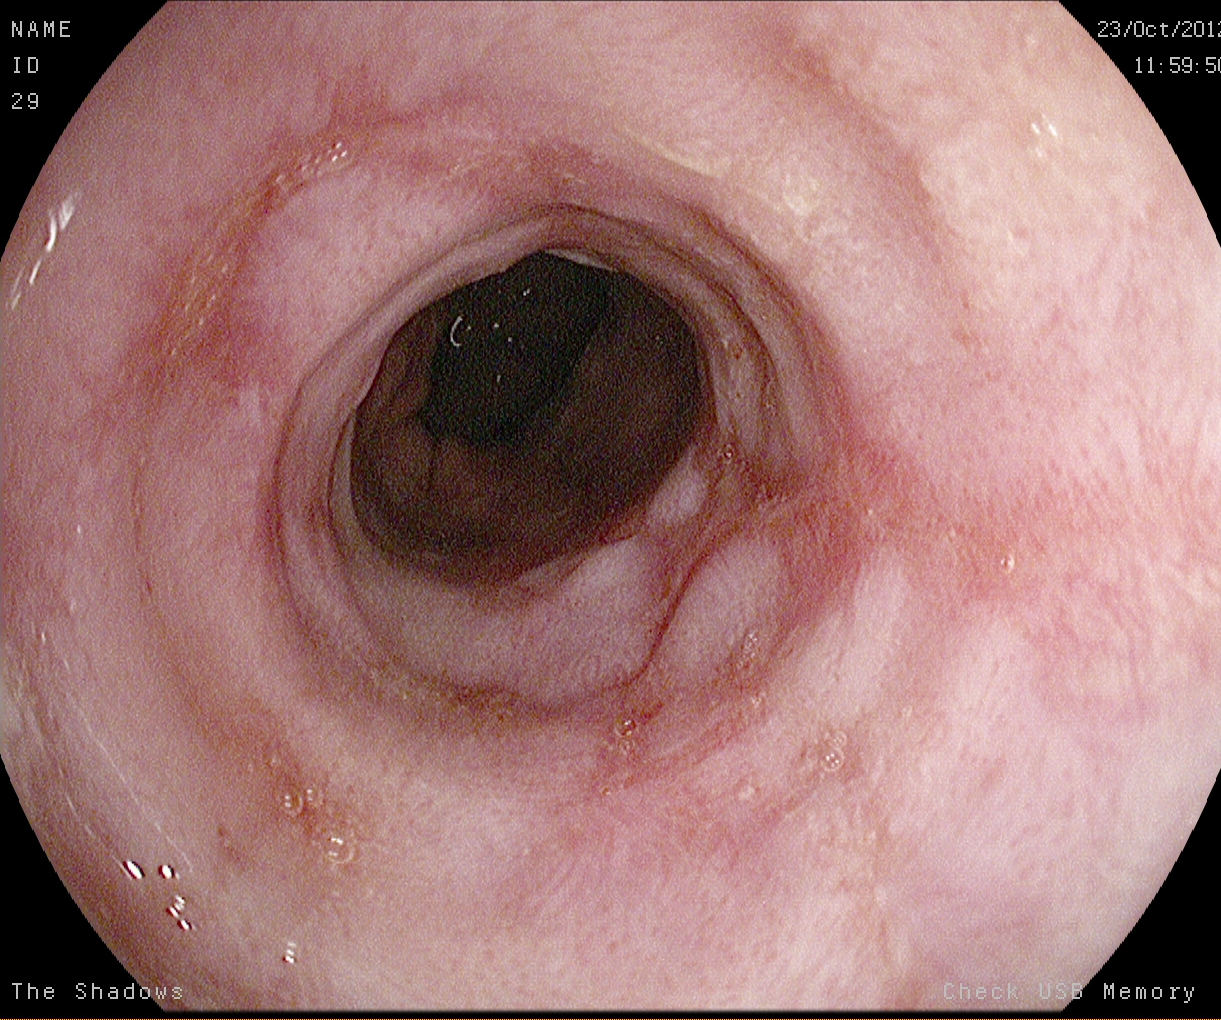{"modality": "EGD", "finding": "reflux esophagitis, LA grade A"}